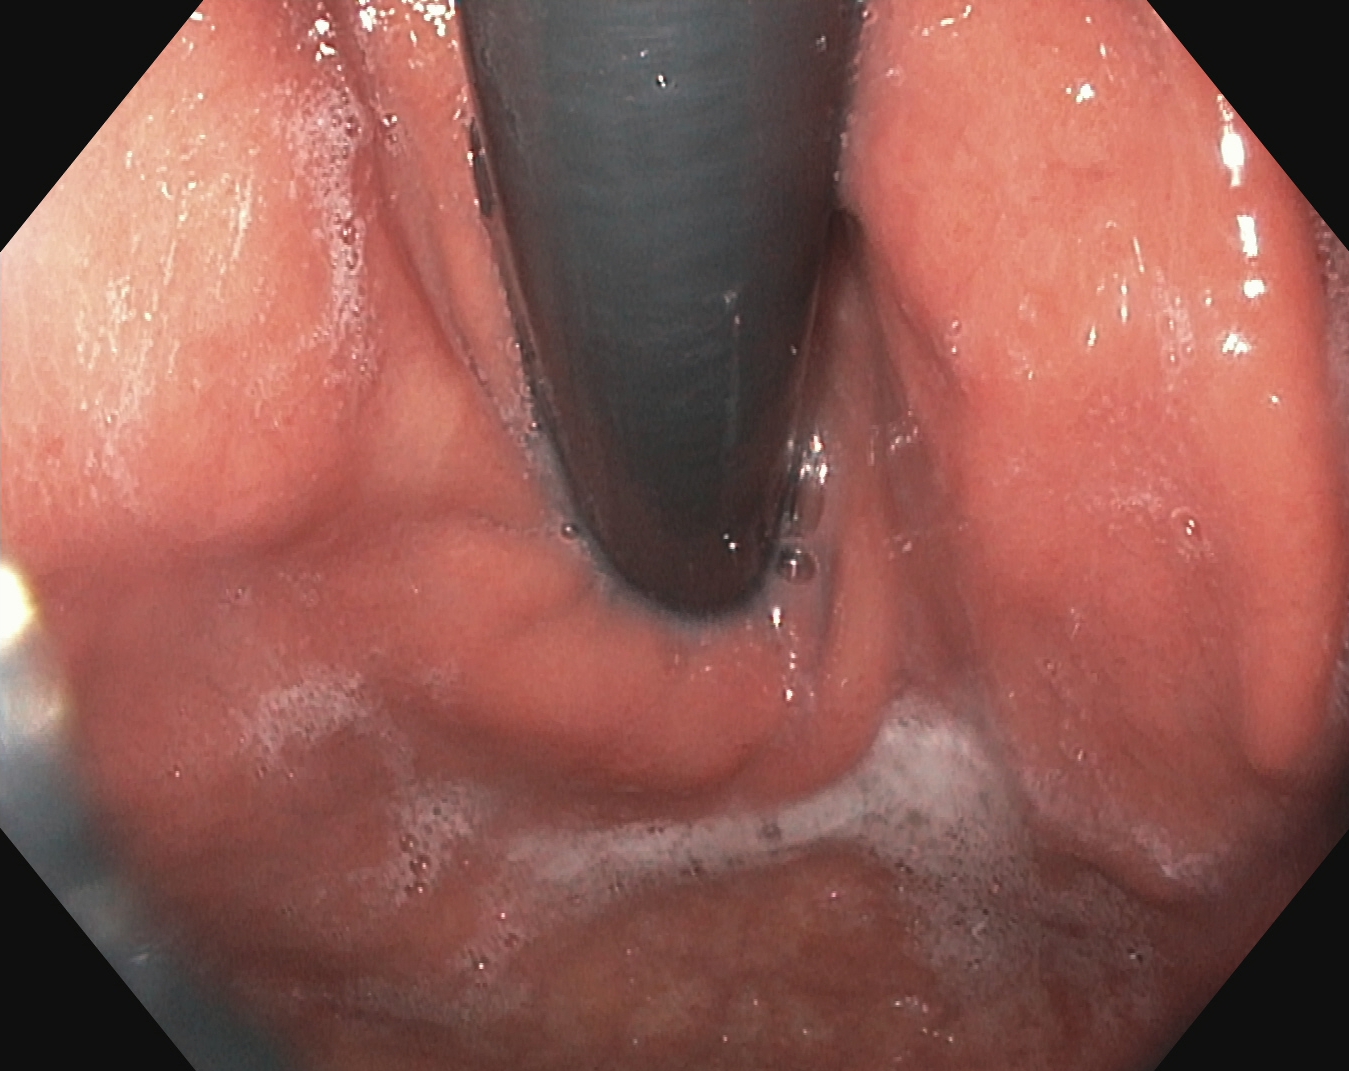stomach in retroflexion.